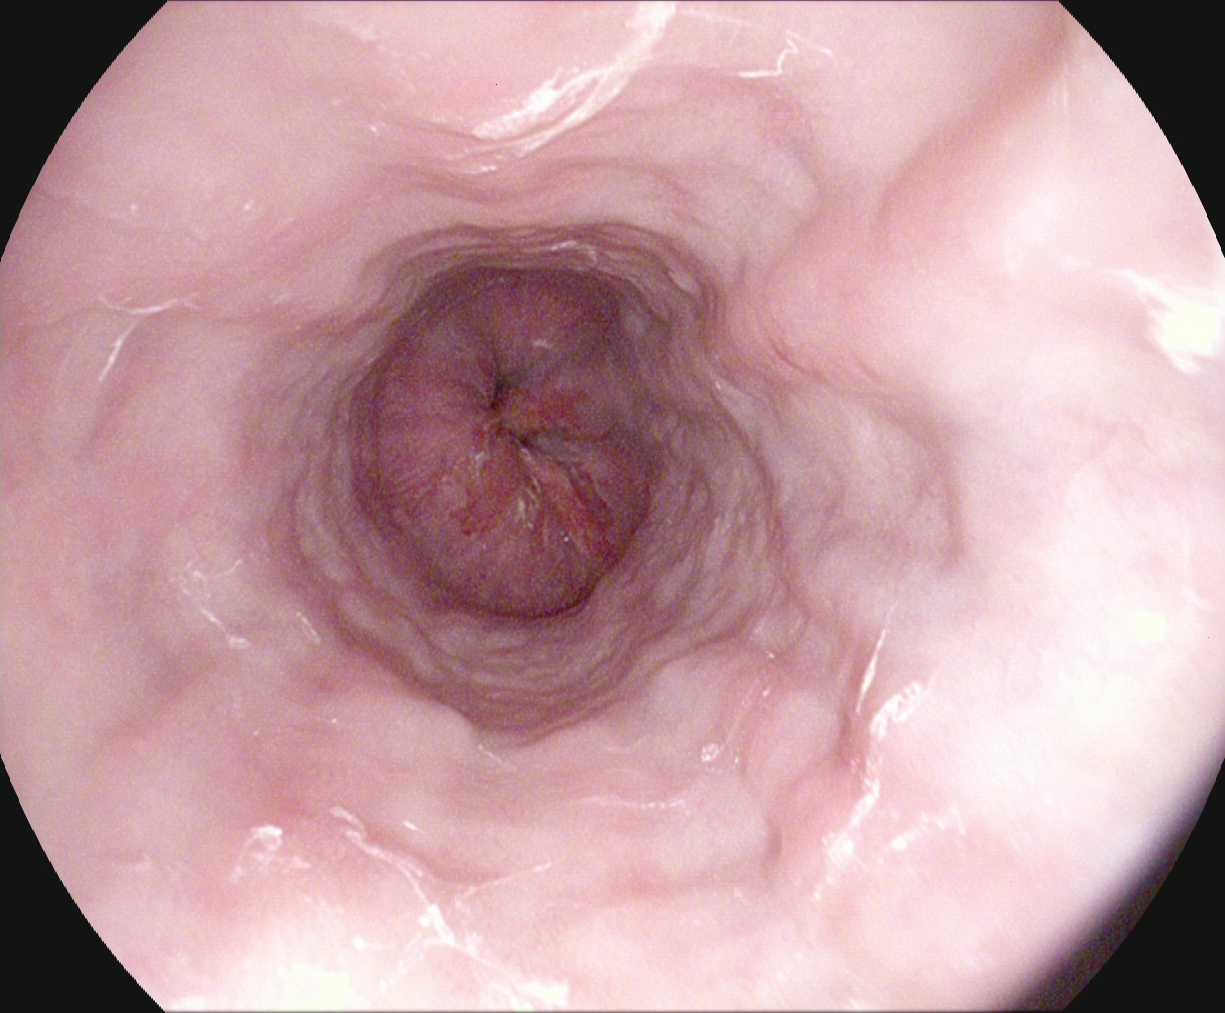Z-line (gastroesophageal junction).